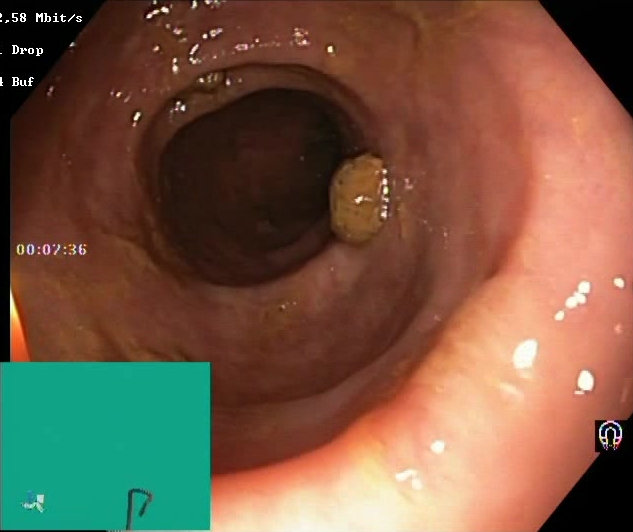Boston Bowel Preparation Scale score 2–3 (adequate preparation).